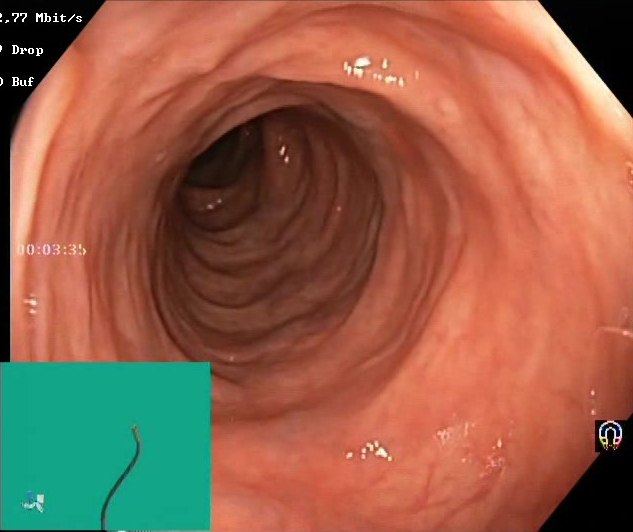GI endoscopy image of the lower GI tract showing Boston Bowel Preparation Scale score 2–3 (adequate preparation).